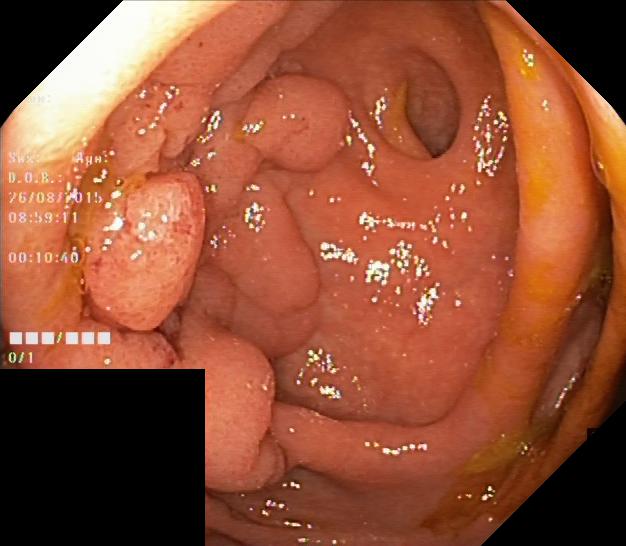{"modality": "lower gastrointestinal endoscopy", "category": "pathological finding", "finding": "colorectal polyp(s)"}